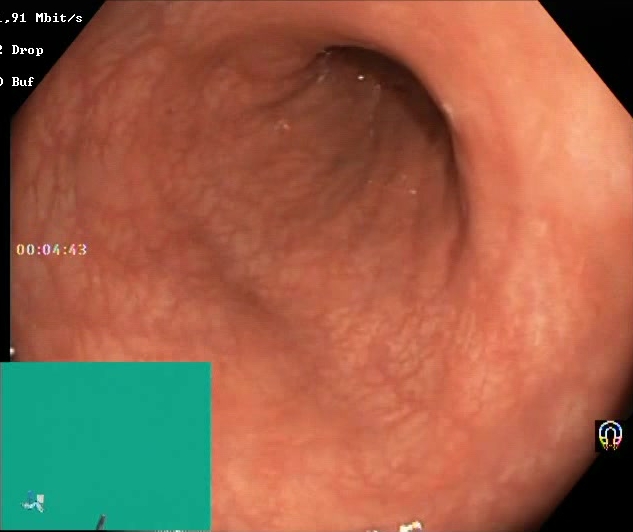Colonoscopy. Finding: Boston Bowel Preparation Scale score 2–3 (adequate preparation).